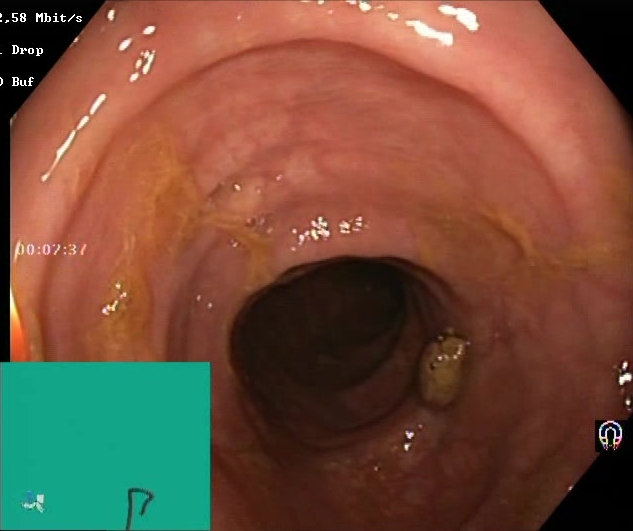{"modality": "colonoscopy", "tract": "lower GI tract", "finding": "Boston Bowel Preparation Scale score 2\u20133 (adequate preparation)"}